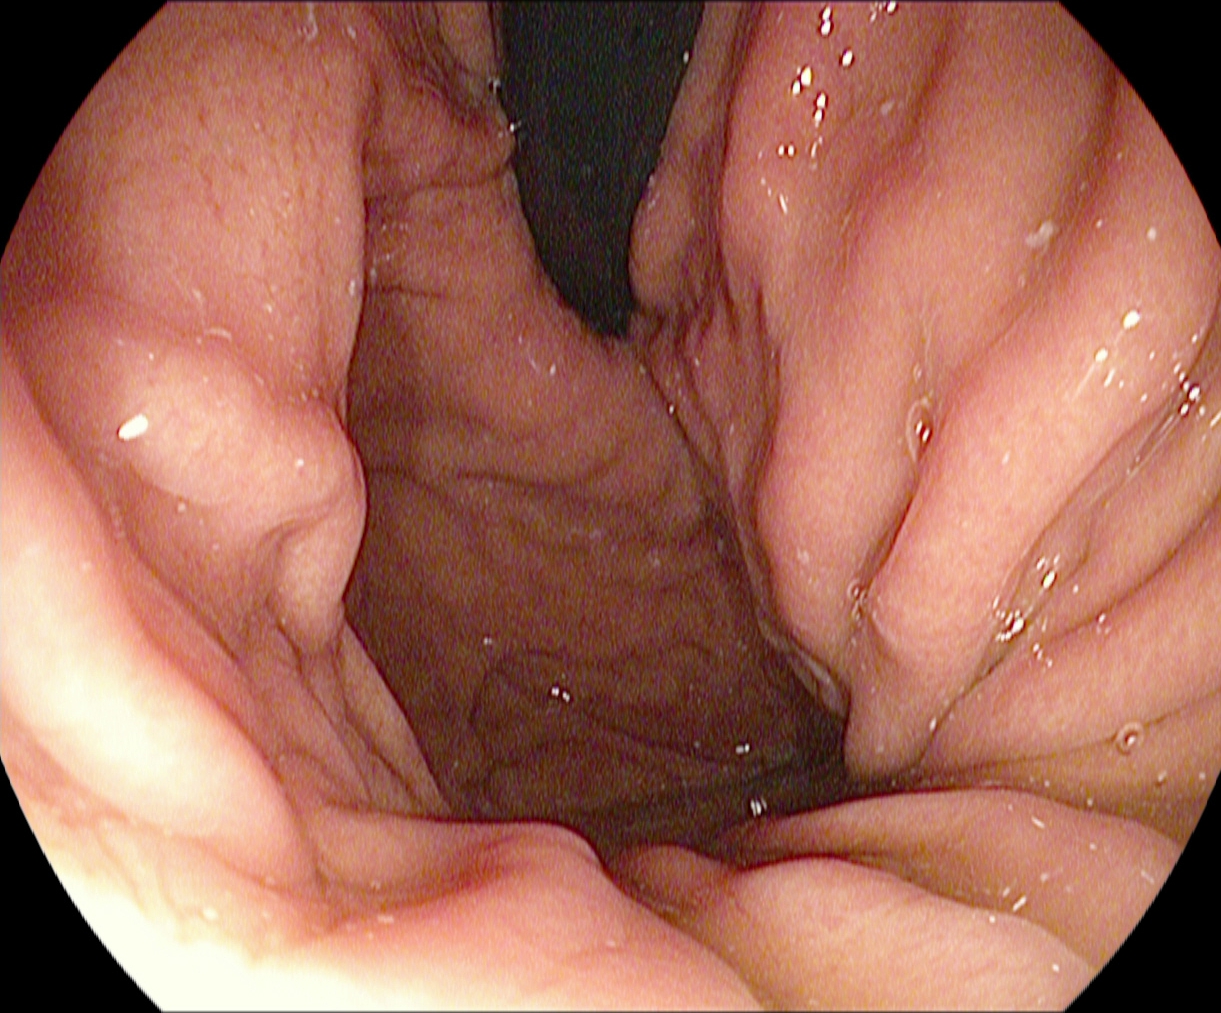{"modality": "EGD", "finding": "stomach in retroflexion"}